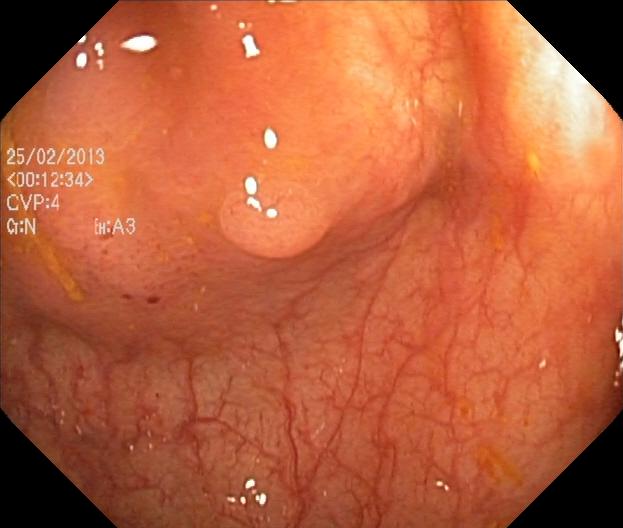Colorectal polyp(s).